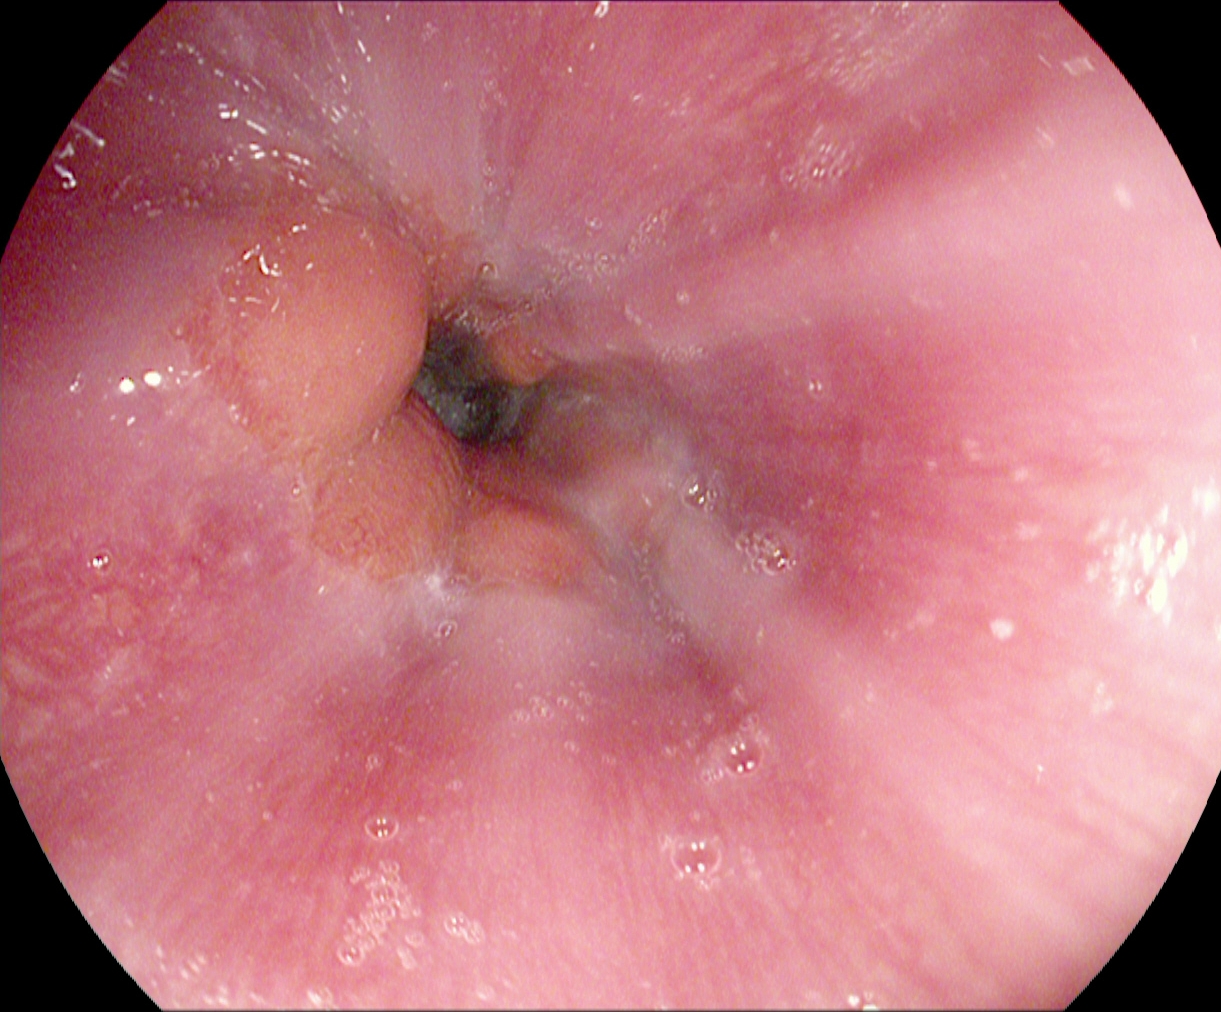Upper-GI endoscopy. Tract: upper GI tract. Anatomical landmark. Finding: Z-line (gastroesophageal junction).